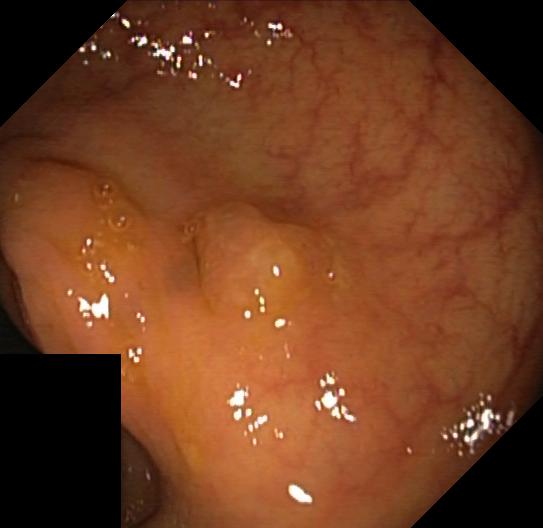Lower gastrointestinal endoscopy. Finding: colorectal polyp(s).